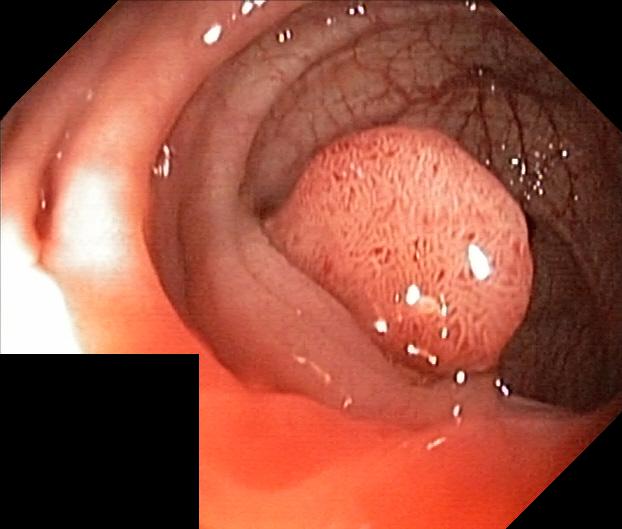Colonoscopy. Tract: lower GI tract. Finding: colorectal polyp(s).